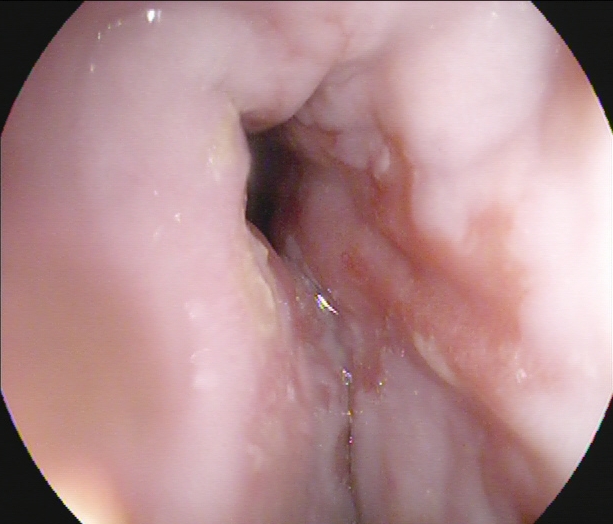Upper-GI endoscopy — Barrett's esophagus.